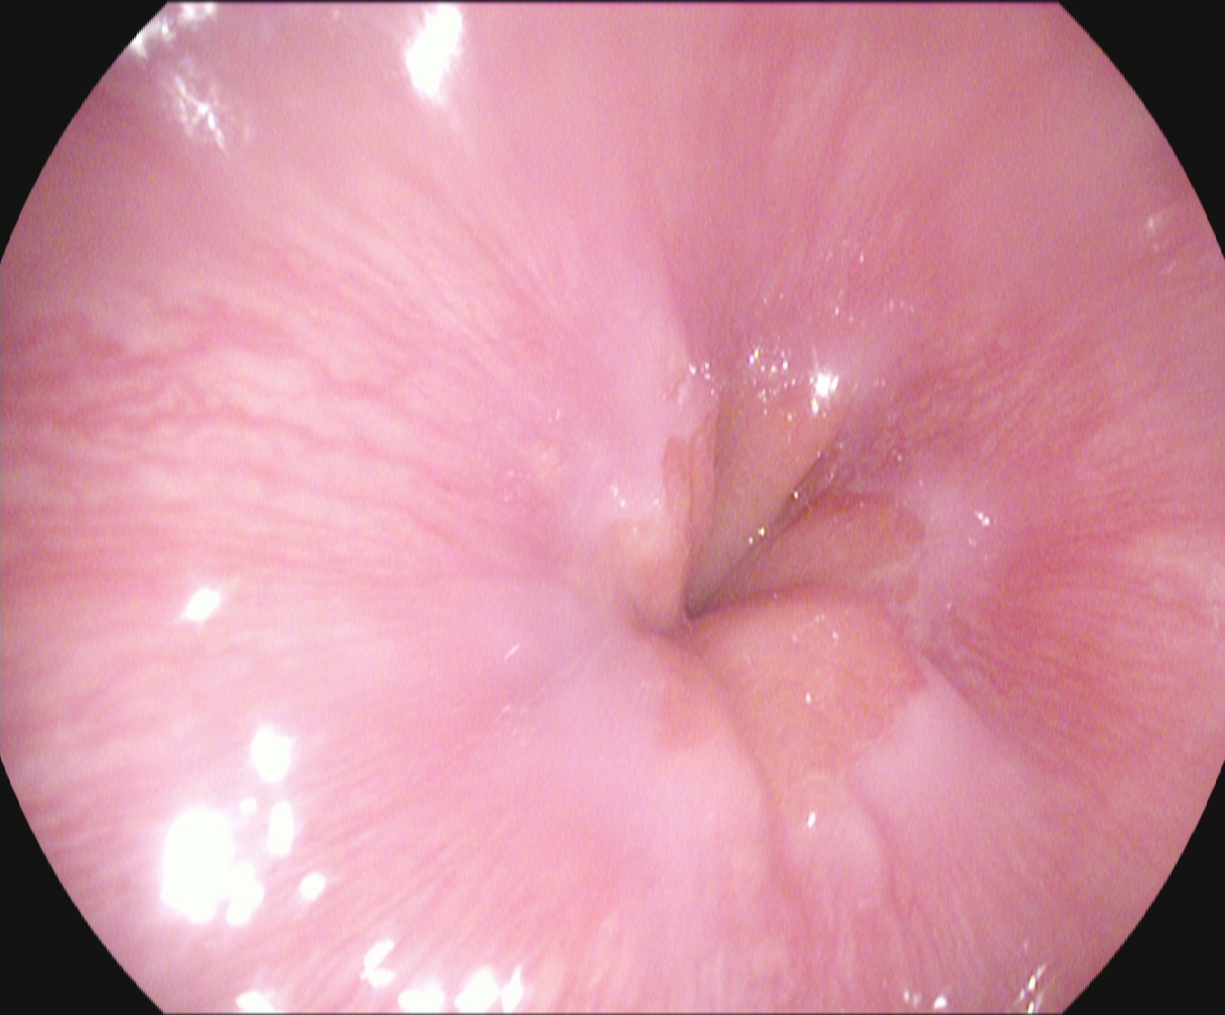Endoscopic image showing Z-line (gastroesophageal junction).